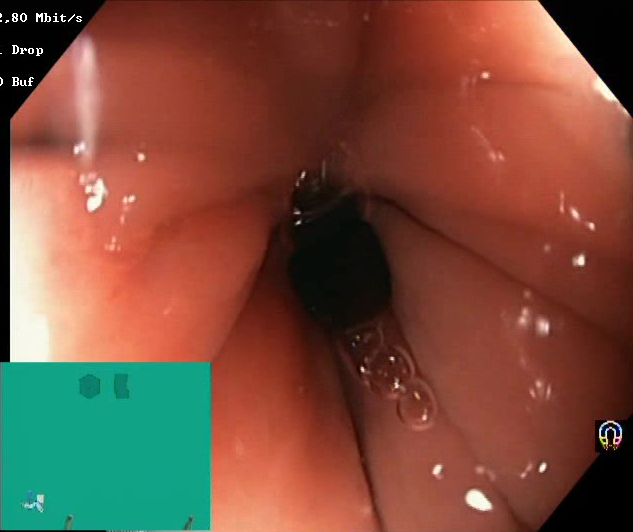modality: lower gastrointestinal endoscopy | category: mucosal-view quality | finding: Boston Bowel Preparation Scale score 2–3 (adequate preparation)